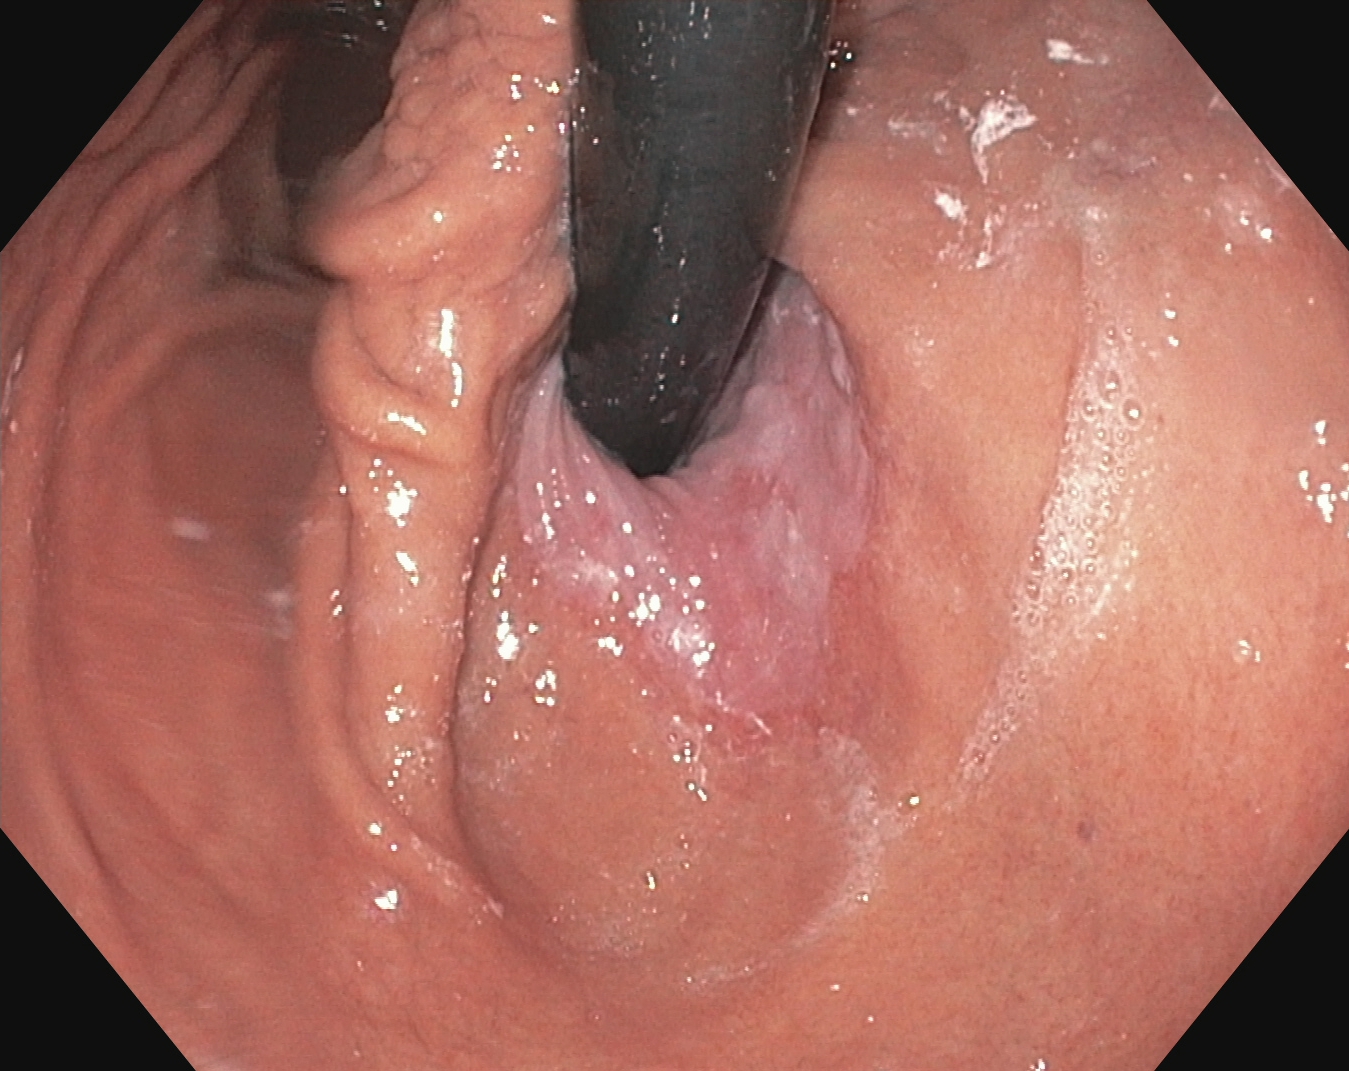Upper-GI endoscopy — stomach in retroflexion.